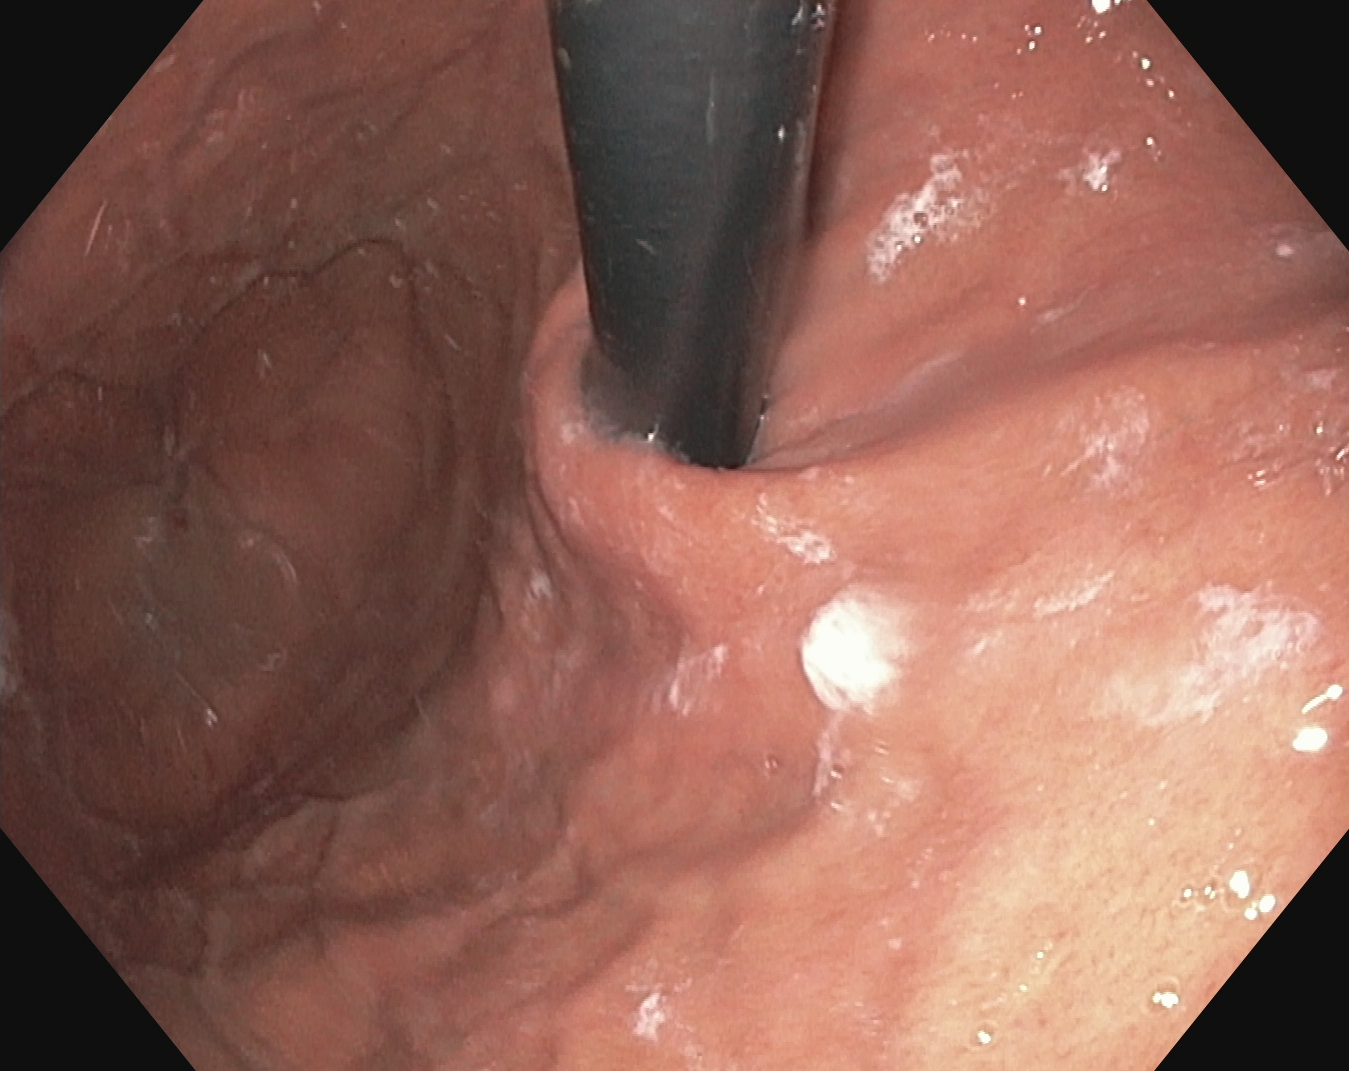Upper-GI endoscopy image of the upper GI tract showing stomach in retroflexion.